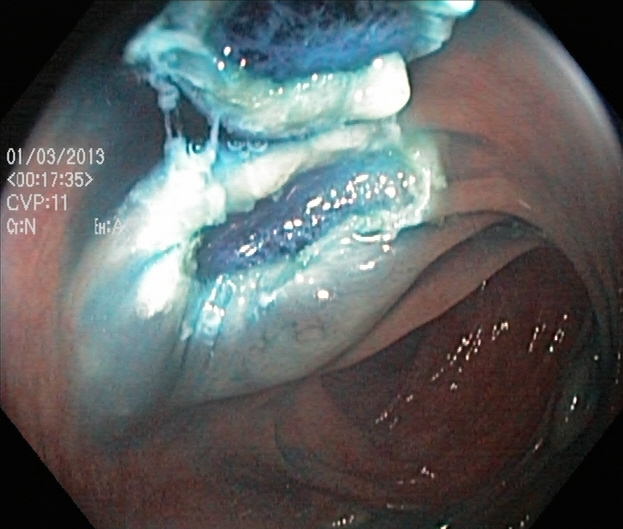Colonoscopy. Tract: lower GI tract. Therapeutic intervention. Finding: dyed resection margins (post-polypectomy).